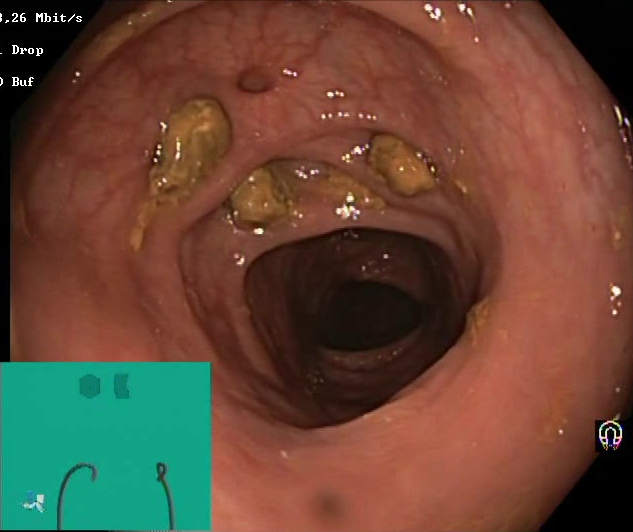modality: lower gastrointestinal endoscopy | tract: lower GI tract | category: mucosal-view quality | finding: impacted stool